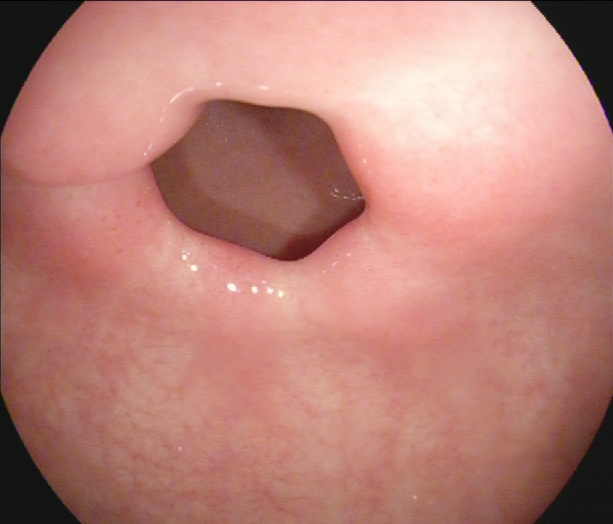{"modality": "esophagogastroduodenoscopy", "tract": "upper GI tract", "finding": "pylorus"}